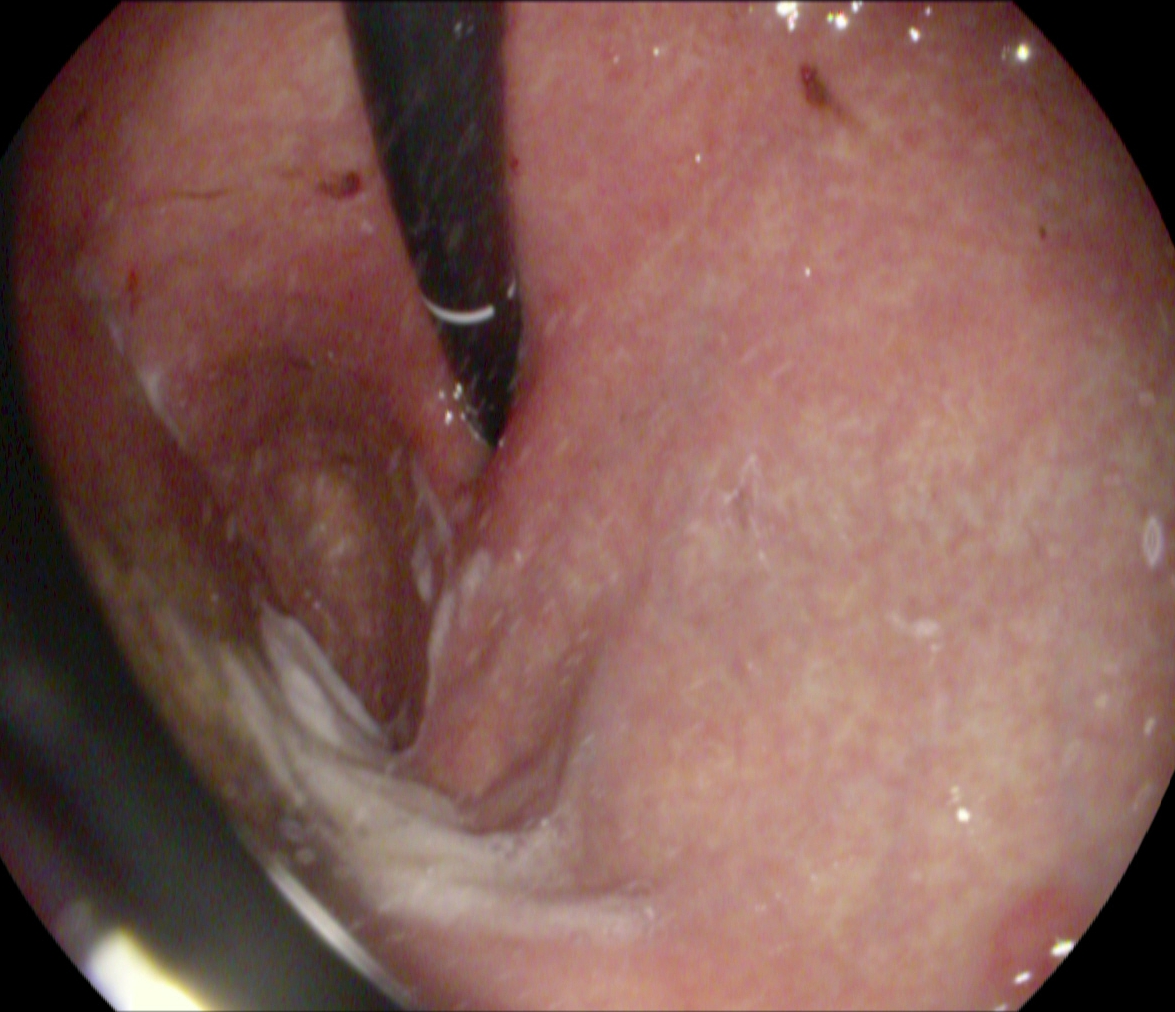EGD image of the upper GI tract showing stomach in retroflexion.